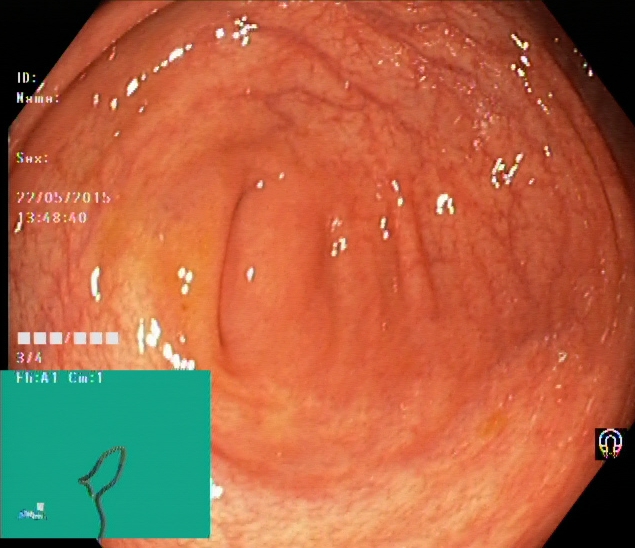Colonoscopy. Tract: lower GI tract. Anatomical landmark. Finding: cecum.